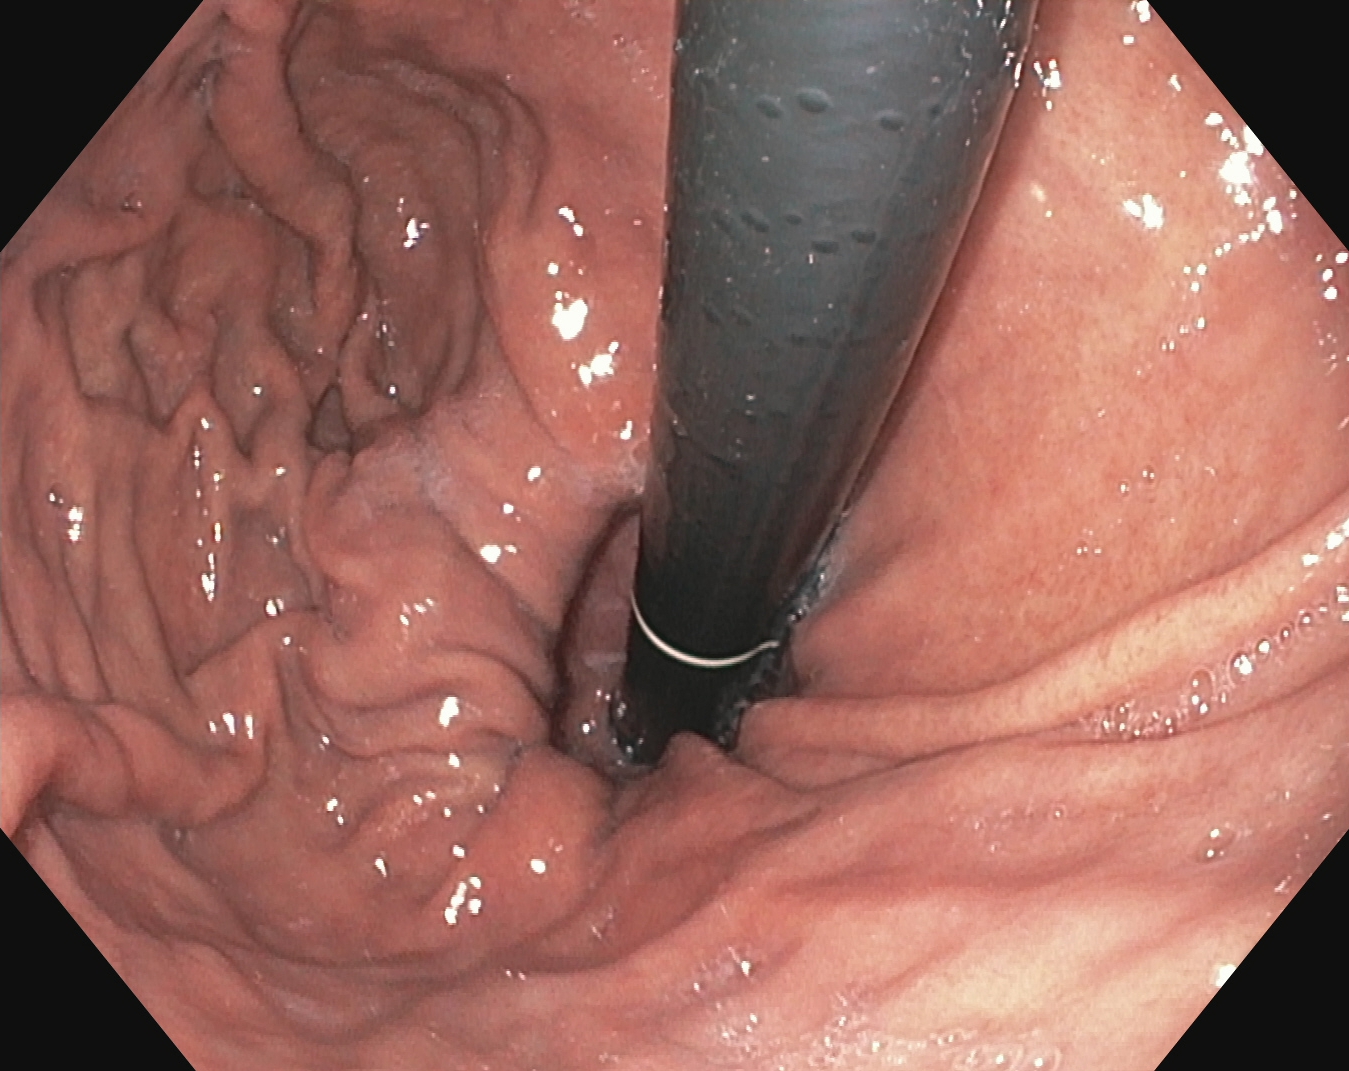{"modality": "upper-GI endoscopy", "category": "anatomical landmark", "finding": "stomach in retroflexion"}